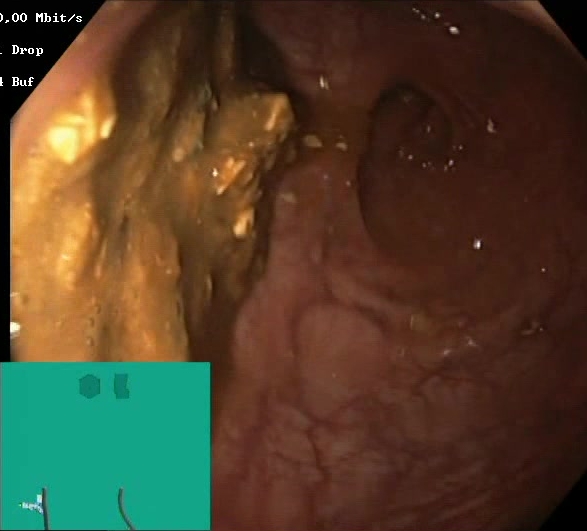Colonoscopy image showing Boston Bowel Preparation Scale score 0–1 (inadequate preparation).